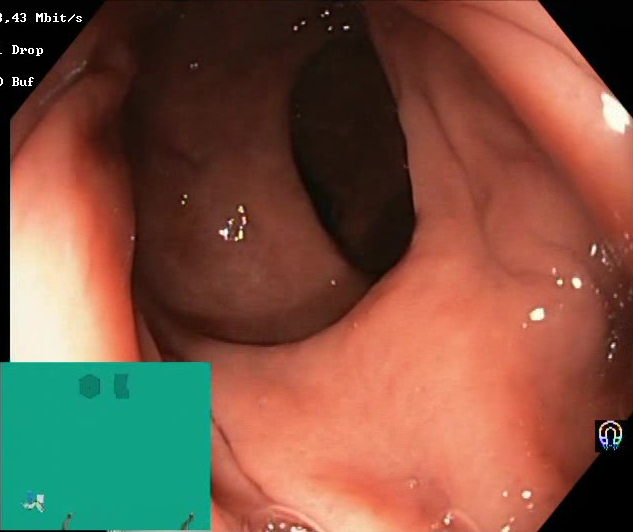modality: lower gastrointestinal endoscopy; finding: BBPS score 2–3 (adequate preparation)